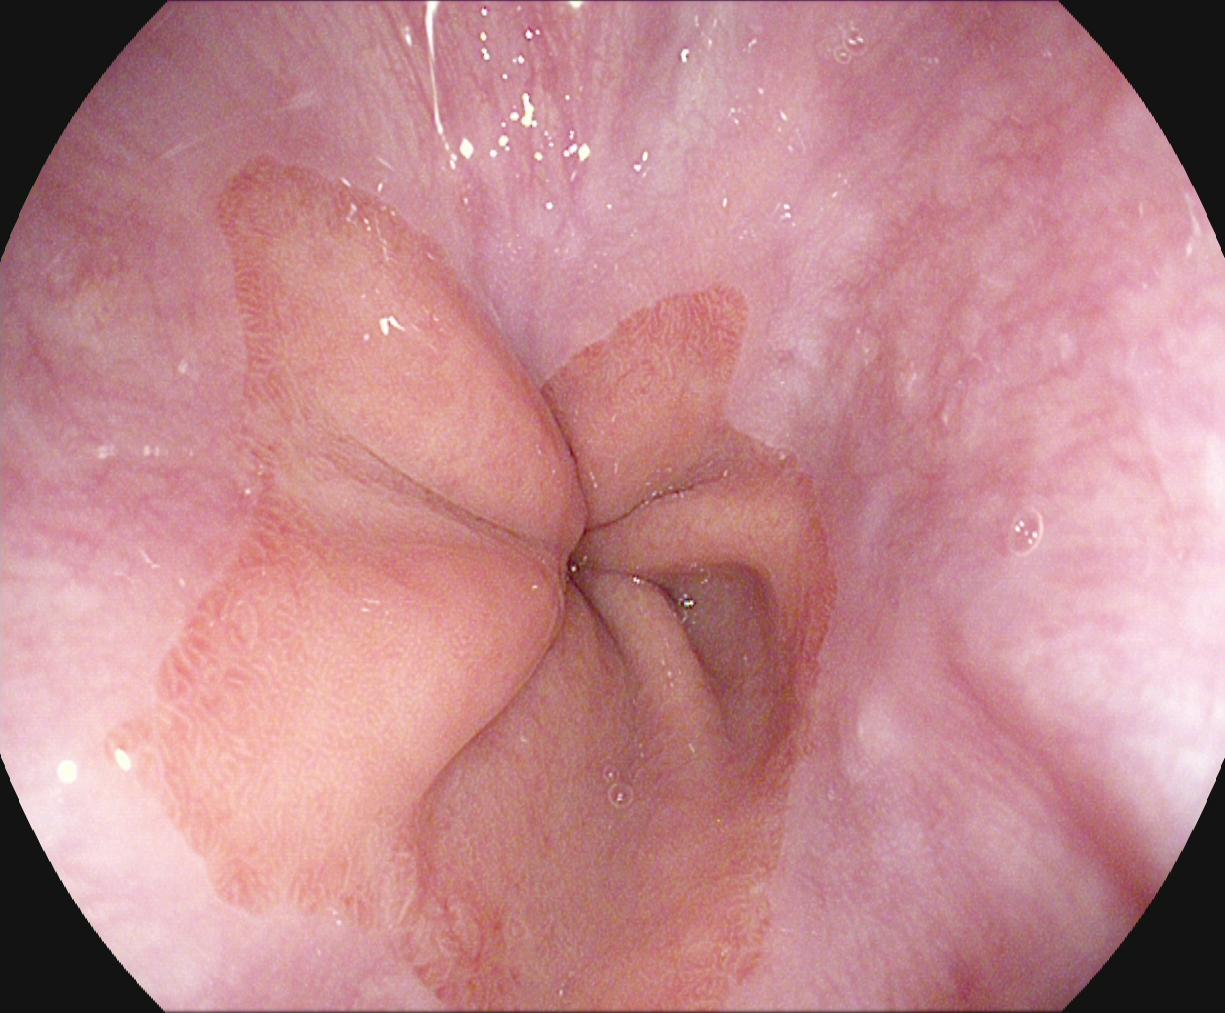This endoscopic image of the upper GI tract shows Z-line (gastroesophageal junction).